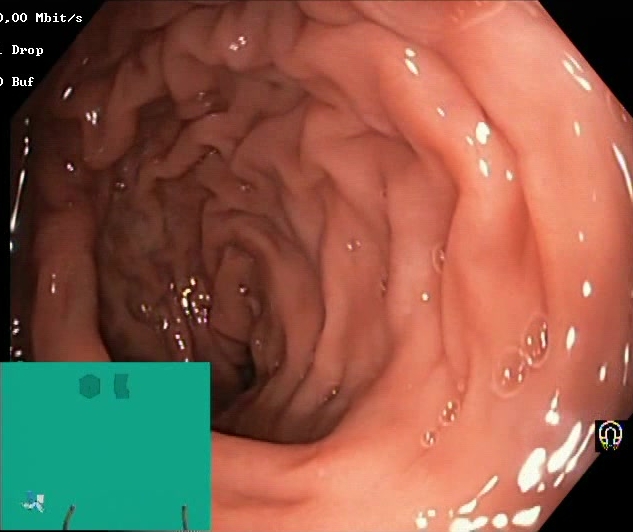Boston Bowel Preparation Scale score 2–3 (adequate preparation).